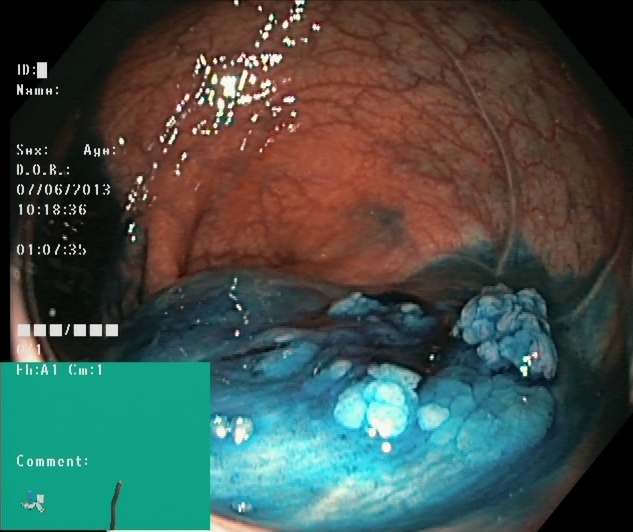{"modality": "lower-GI endoscopy", "tract": "lower GI tract", "category": "therapeutic intervention", "finding": "dyed and lifted polyp (pre-resection)"}